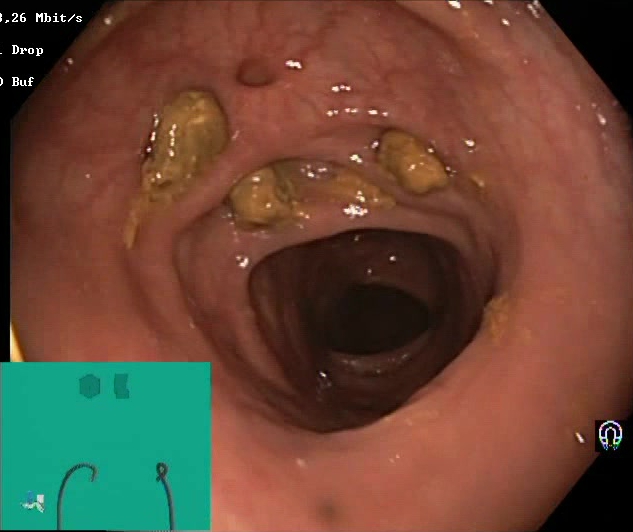Lower gastrointestinal endoscopy — impacted stool.